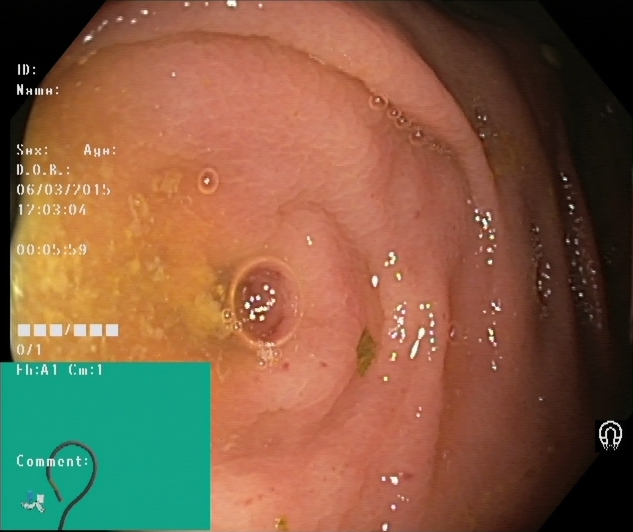Cecum.